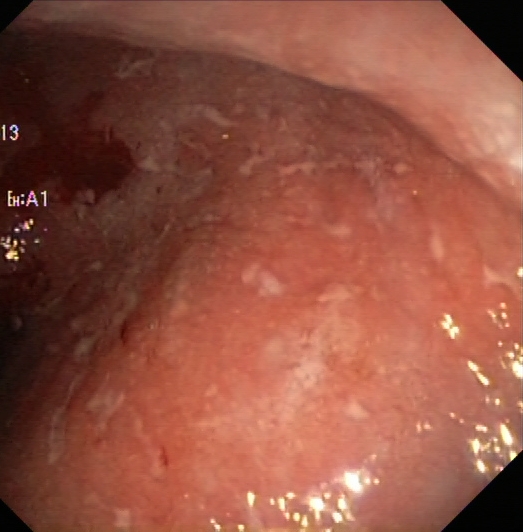ulcerative colitis, Mayo endoscopic subscore 2.